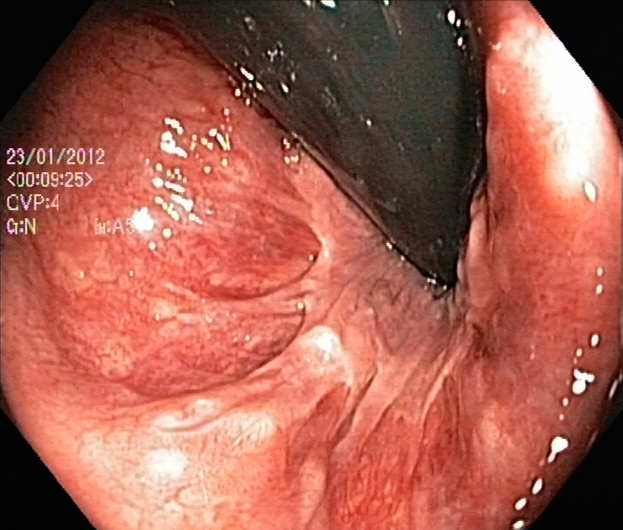Rectum in retroflexion.